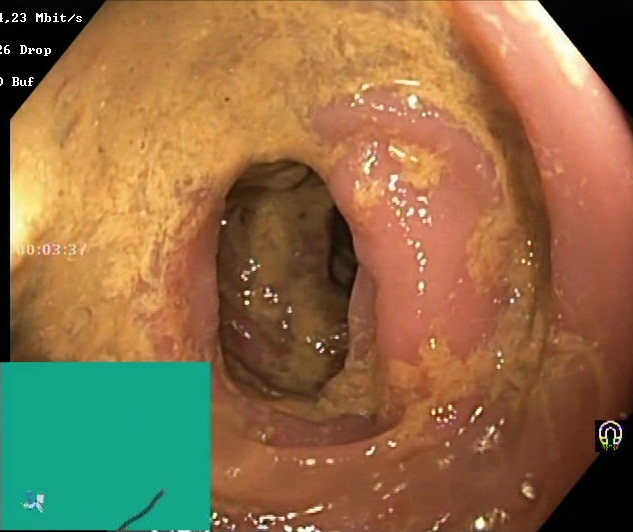Boston Bowel Preparation Scale score 0–1 (inadequate preparation).